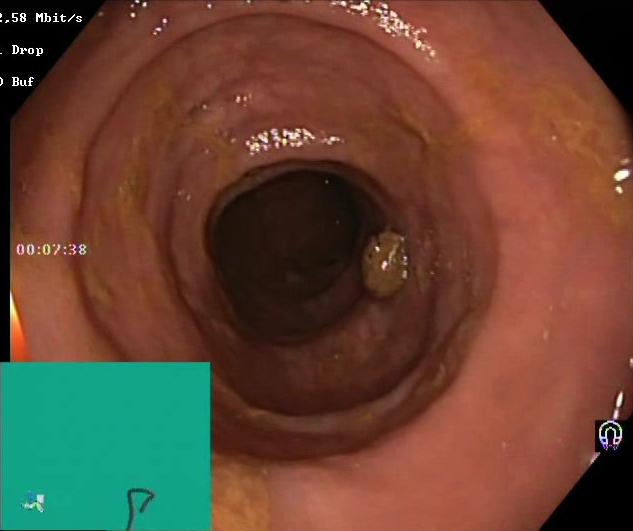Lower-GI endoscopy image of the lower GI tract showing Boston Bowel Preparation Scale score 2–3 (adequate preparation).